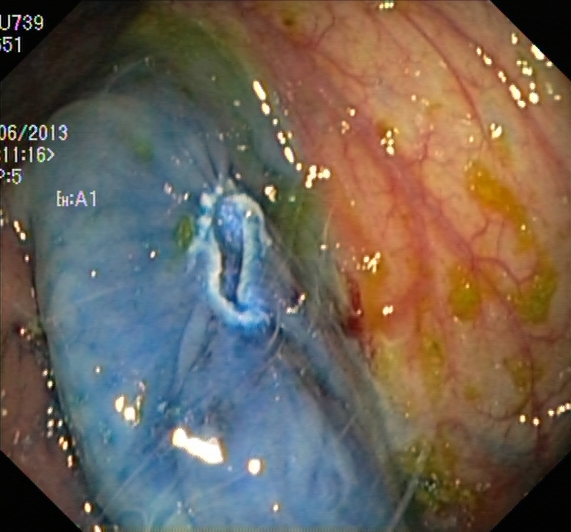Lower gastrointestinal endoscopy — dyed resection margins (post-polypectomy).